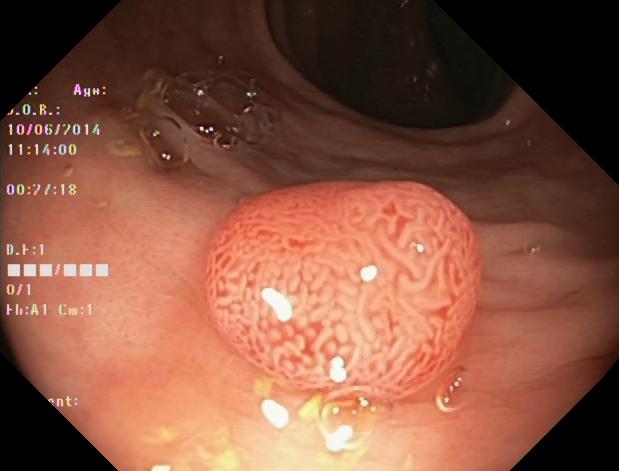modality: lower gastrointestinal endoscopy | tract: lower GI tract | finding: colorectal polyp(s)